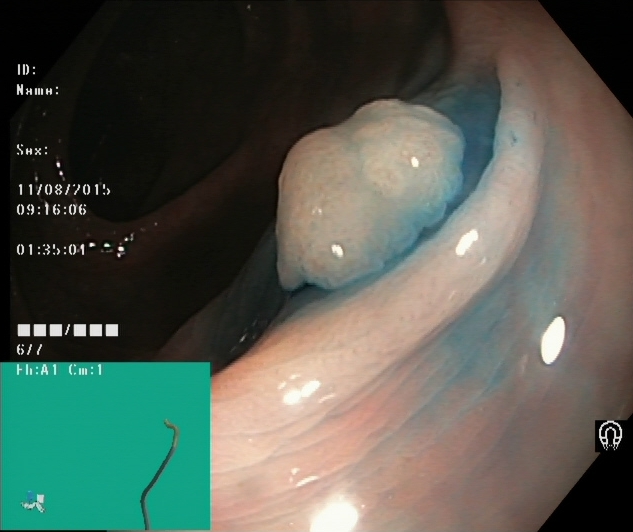{"modality": "lower-GI endoscopy", "tract": "lower GI tract", "finding": "dyed and lifted polyp (pre-resection)"}